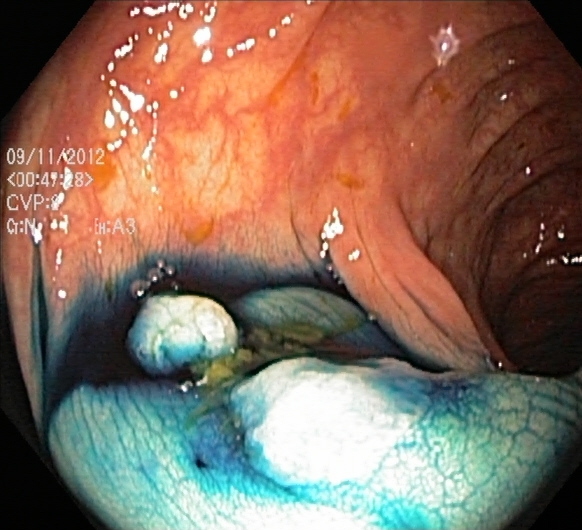Lower-GI endoscopy. Therapeutic intervention. Finding: dyed and lifted polyp (pre-resection).